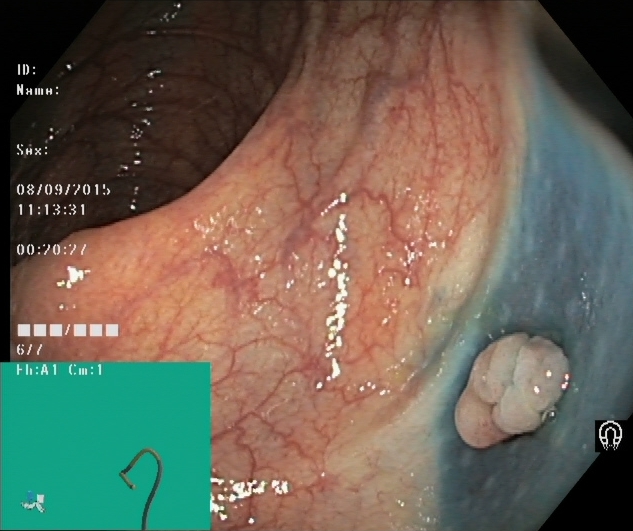Endoscopic image of the lower GI tract showing dyed and lifted polyp (pre-resection).